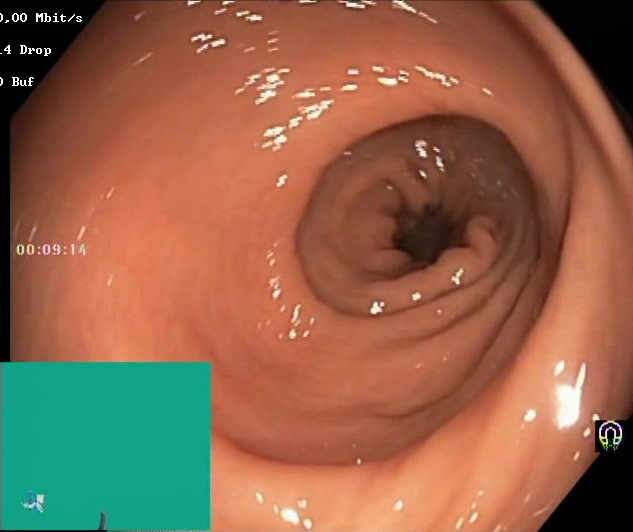Colonoscopy. Finding: BBPS score 2–3 (adequate preparation).